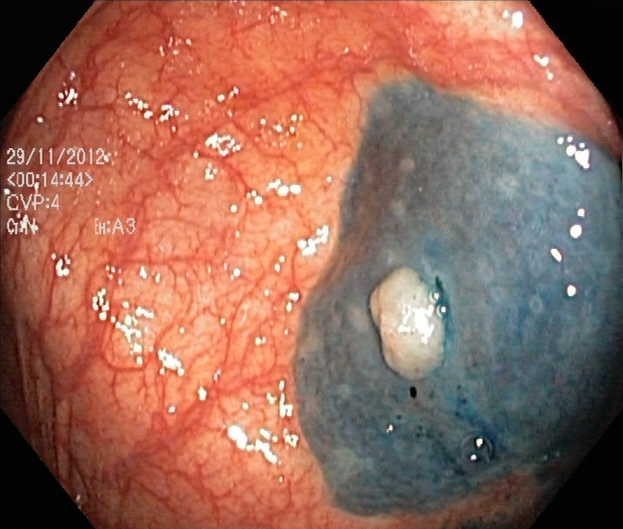Endoscopy image showing dyed and lifted polyp (pre-resection).